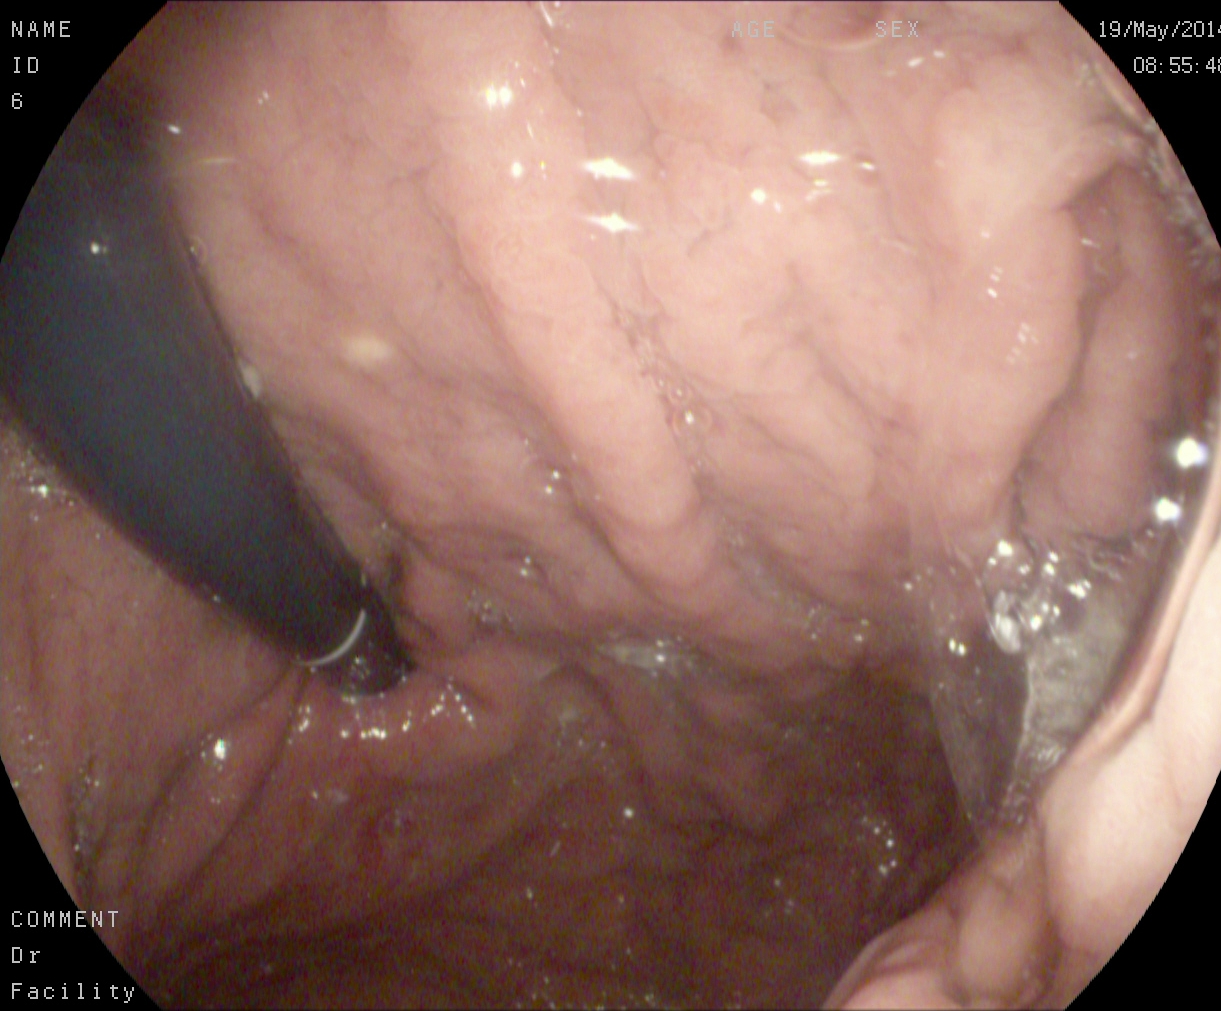stomach in retroflexion.